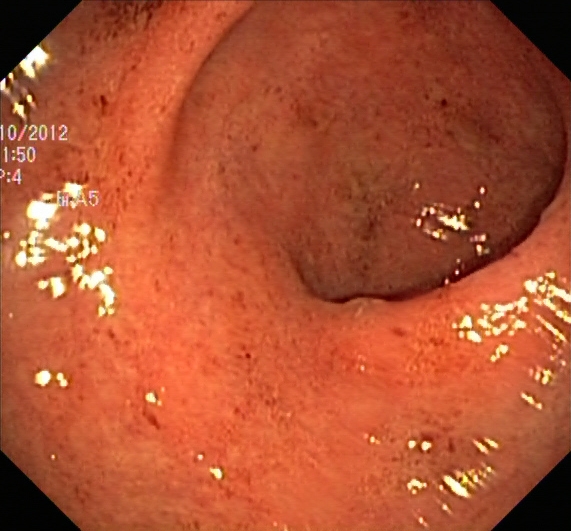UC, Mayo endoscopic subscore 1.